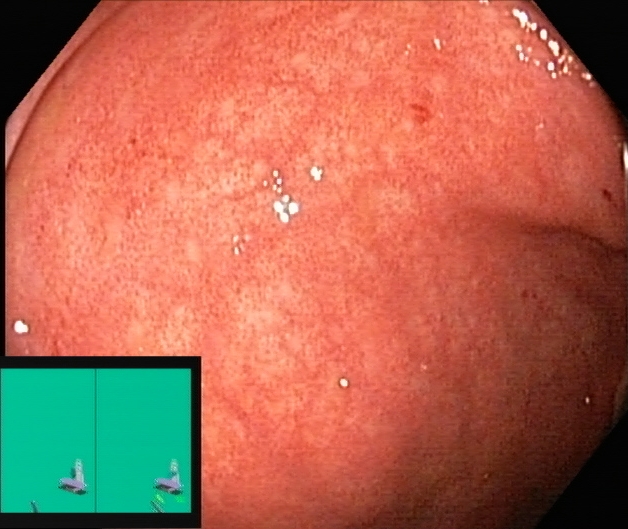{"modality": "lower gastrointestinal endoscopy", "tract": "lower GI tract", "category": "pathological finding", "finding": "UC, Mayo endoscopic subscore 1"}